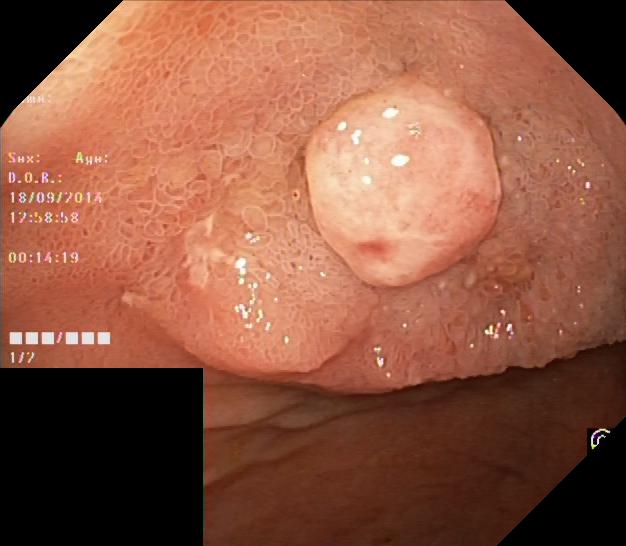modality: lower-GI endoscopy; tract: lower GI tract; finding: colorectal polyp(s)